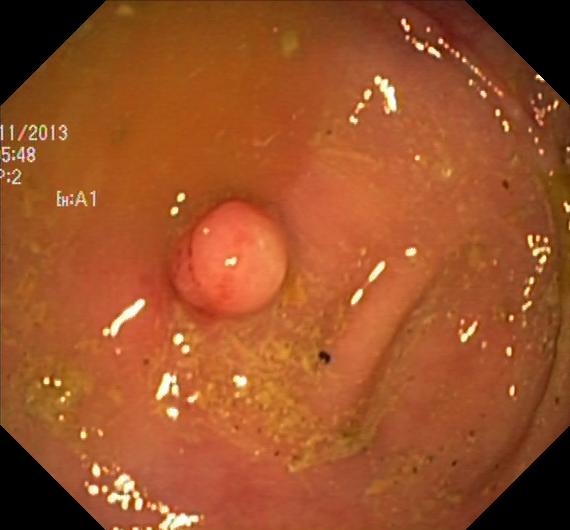Lower-GI endoscopy. Finding: colorectal polyp(s).